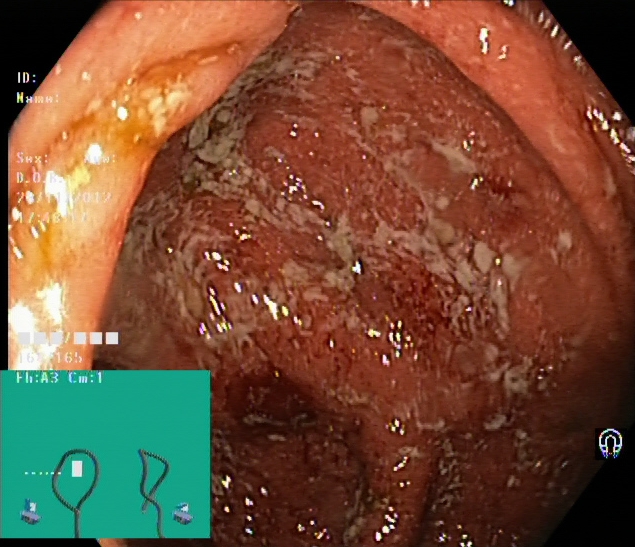Colonoscopy — UC, Mayo endoscopic subscore 2.